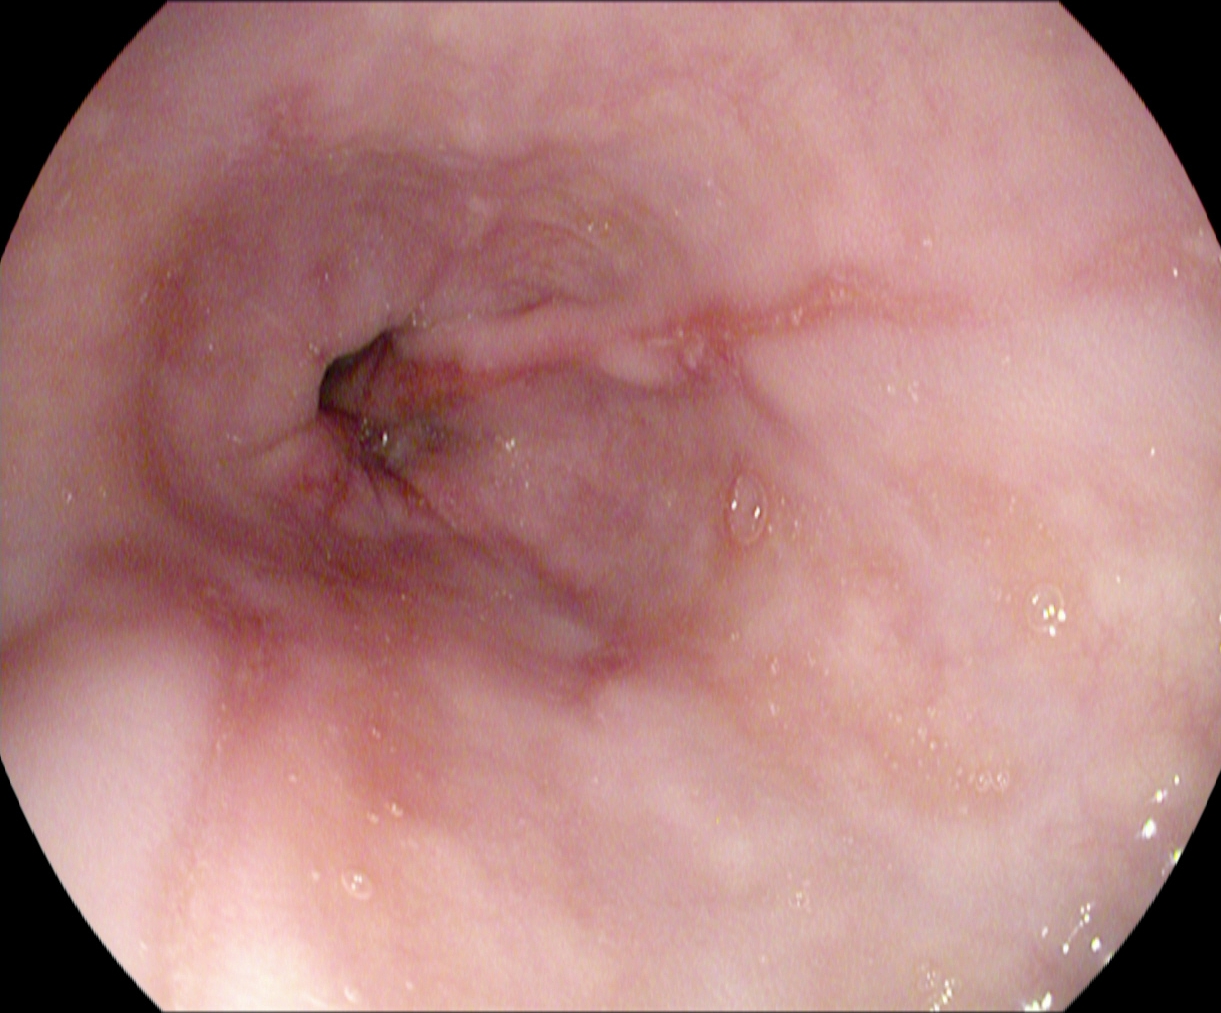{"modality": "upper-GI endoscopy", "tract": "upper GI tract", "finding": "reflux esophagitis, Los Angeles grade B\u2013D"}